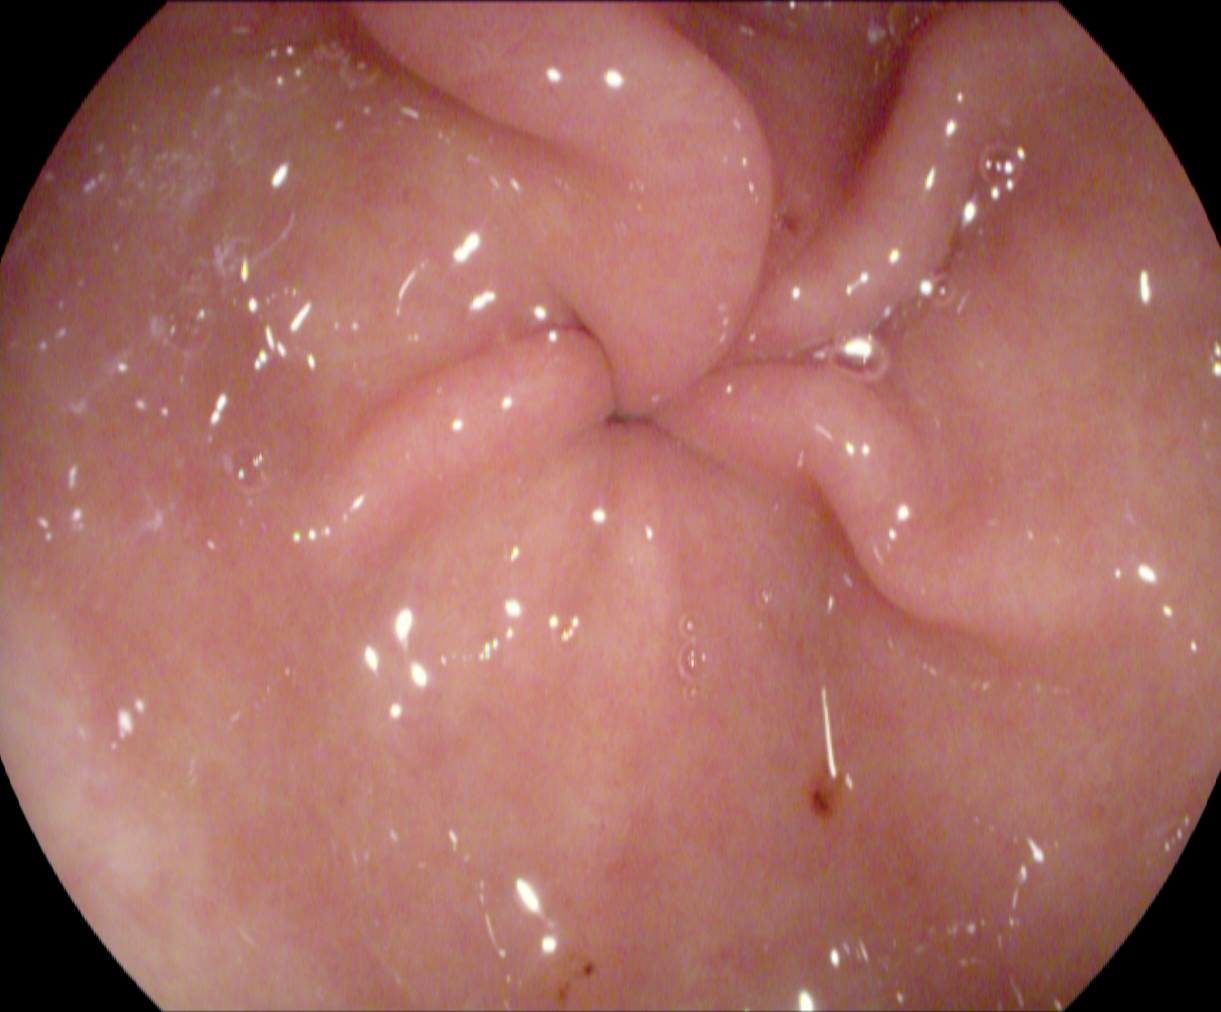modality: gastroscopy; tract: upper GI tract; finding: pylorus